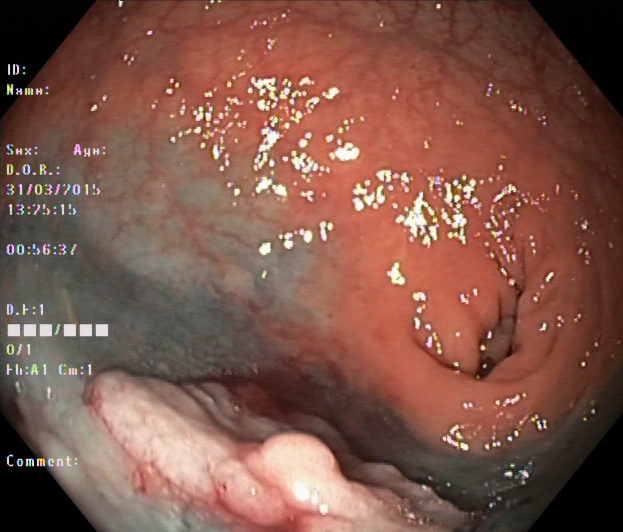{"modality": "lower-GI endoscopy", "tract": "lower GI tract", "finding": "dyed and lifted polyp (pre-resection)"}